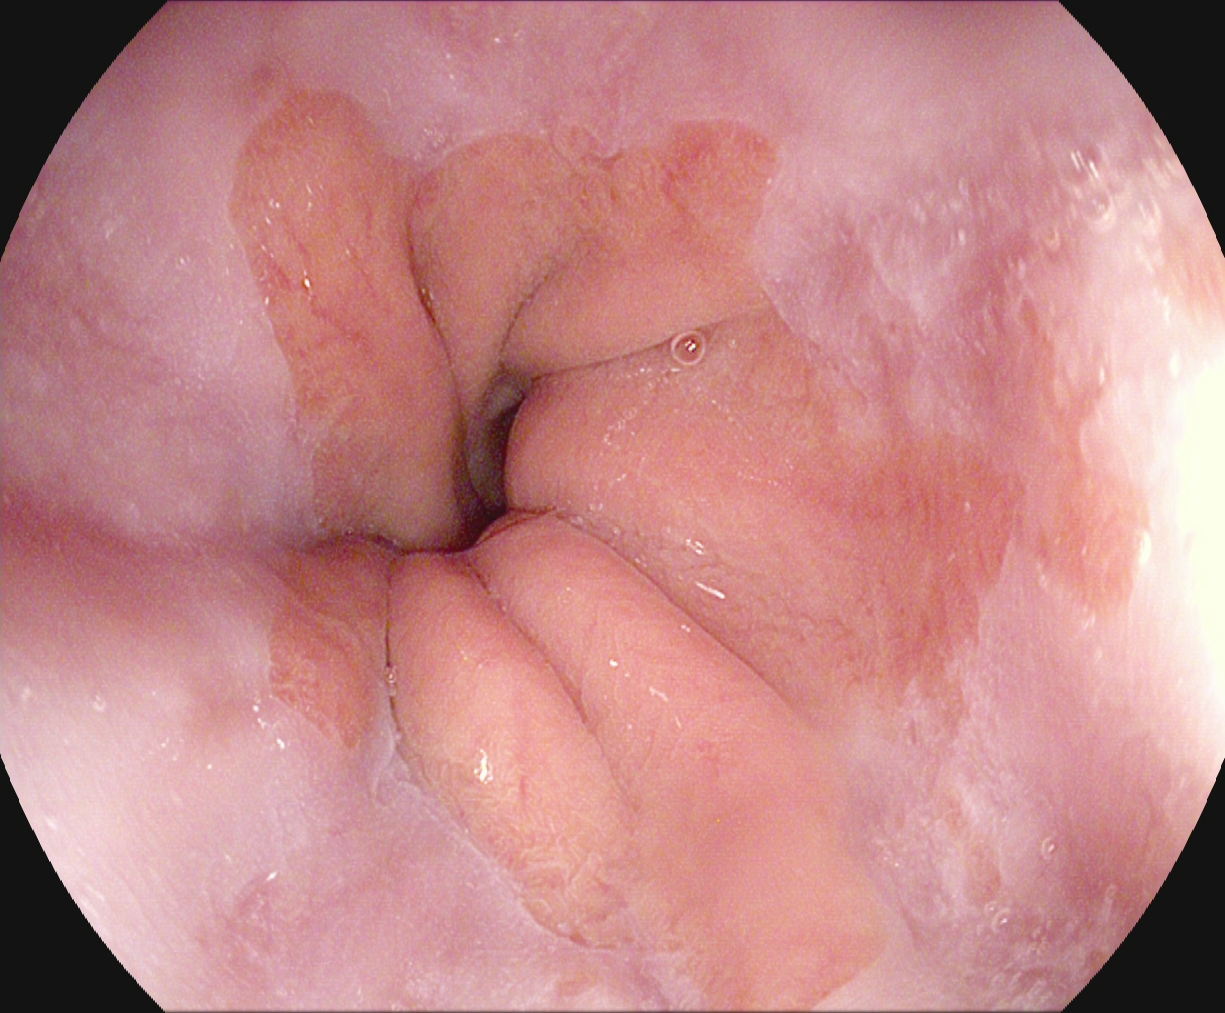PROCEDURE: Gastroscopy.
FINDINGS: Barrett's esophagus.